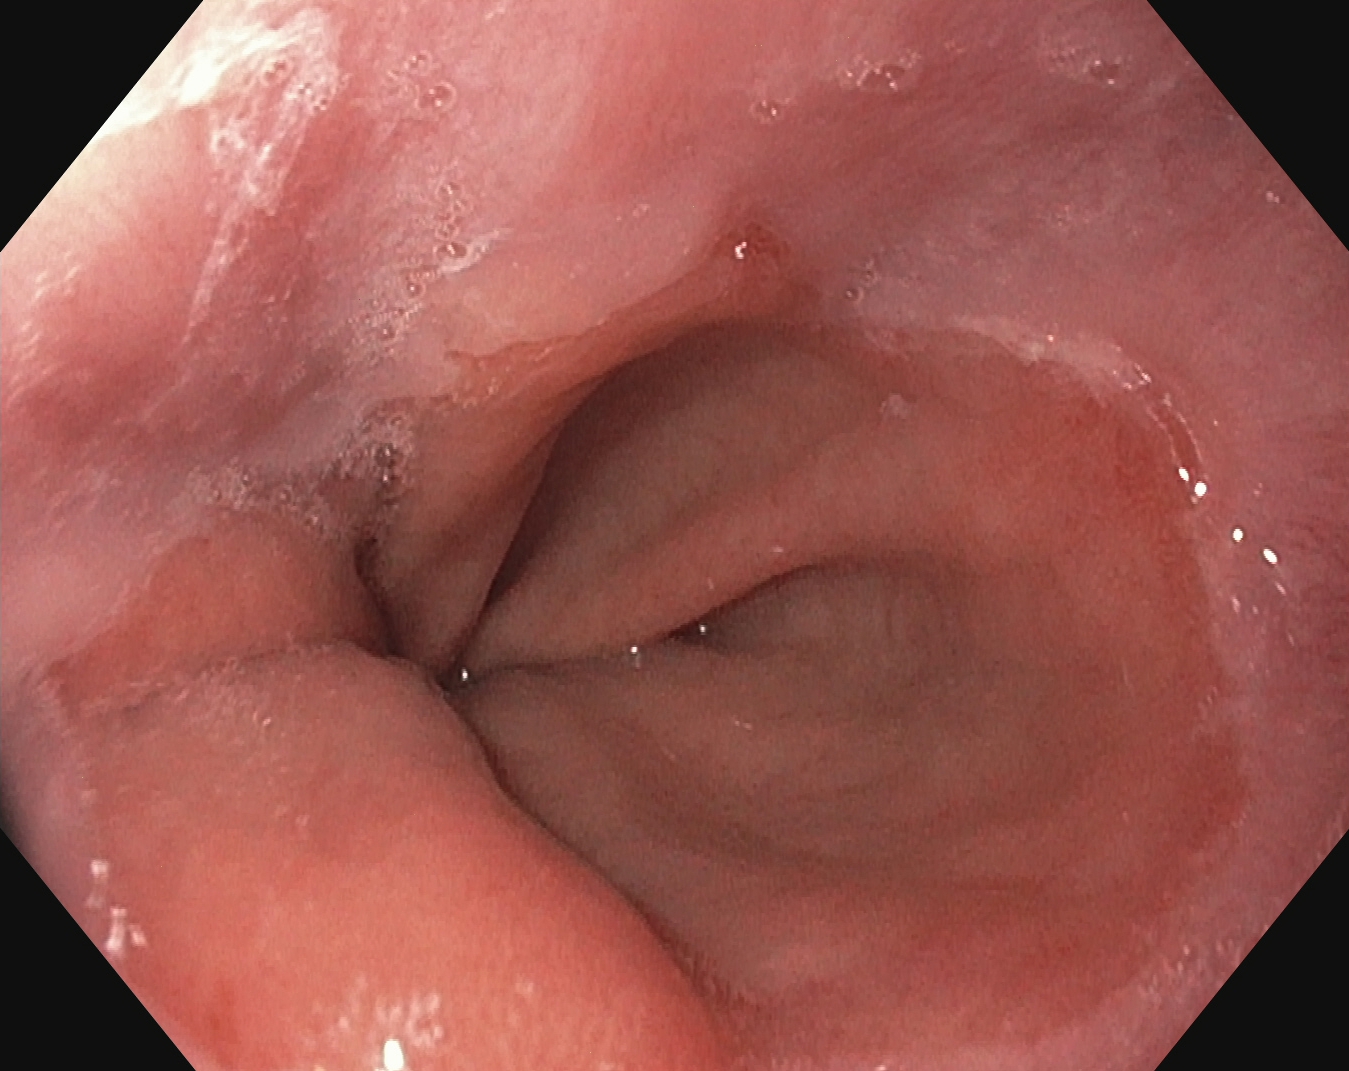Z-line (gastroesophageal junction).